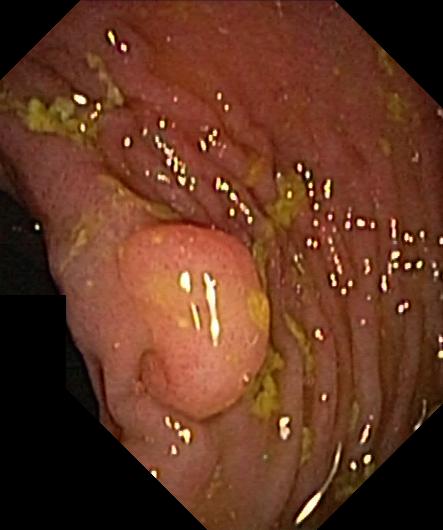{"modality": "colonoscopy", "tract": "lower GI tract", "finding": "colorectal polyp(s)"}